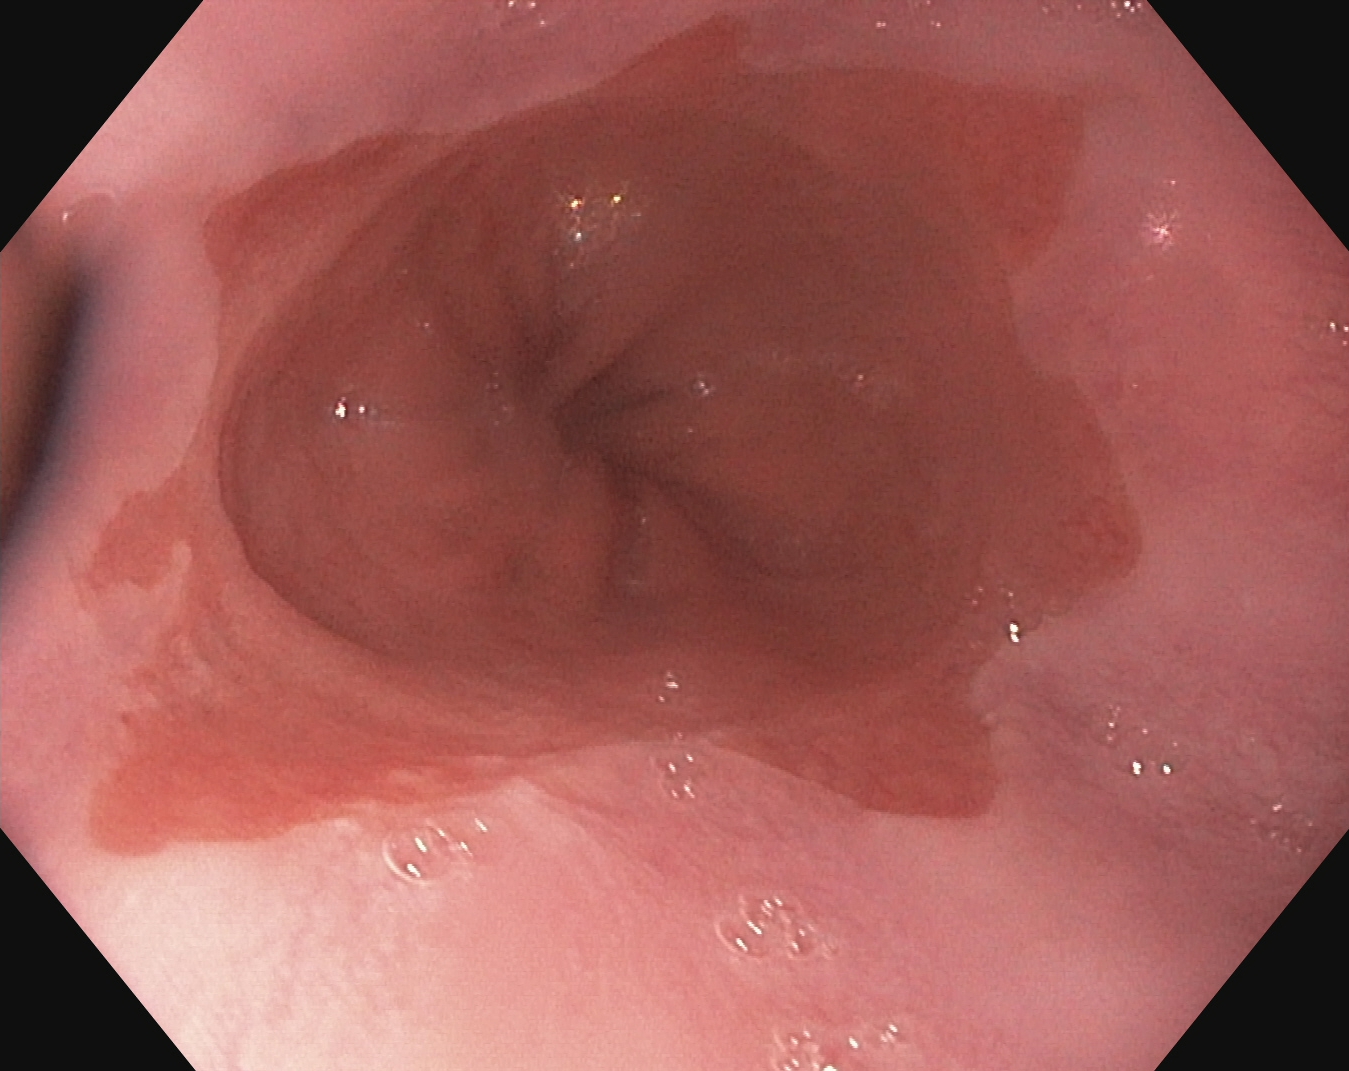modality: upper-GI endoscopy
category: pathological finding
finding: Barrett's esophagus